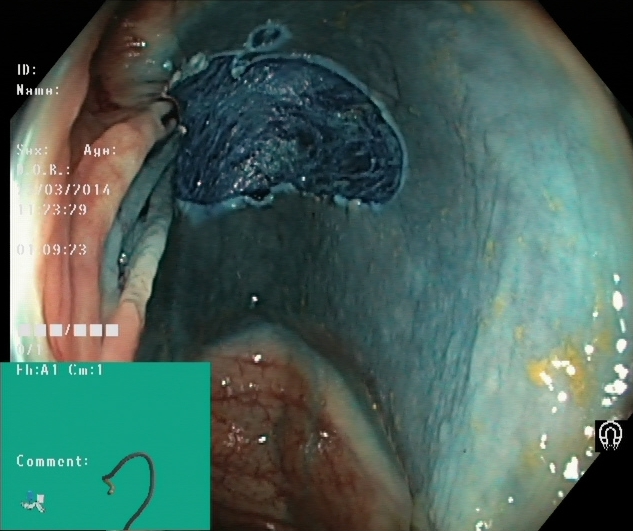This endoscopy frame of the lower GI tract shows dyed resection margins (post-polypectomy).